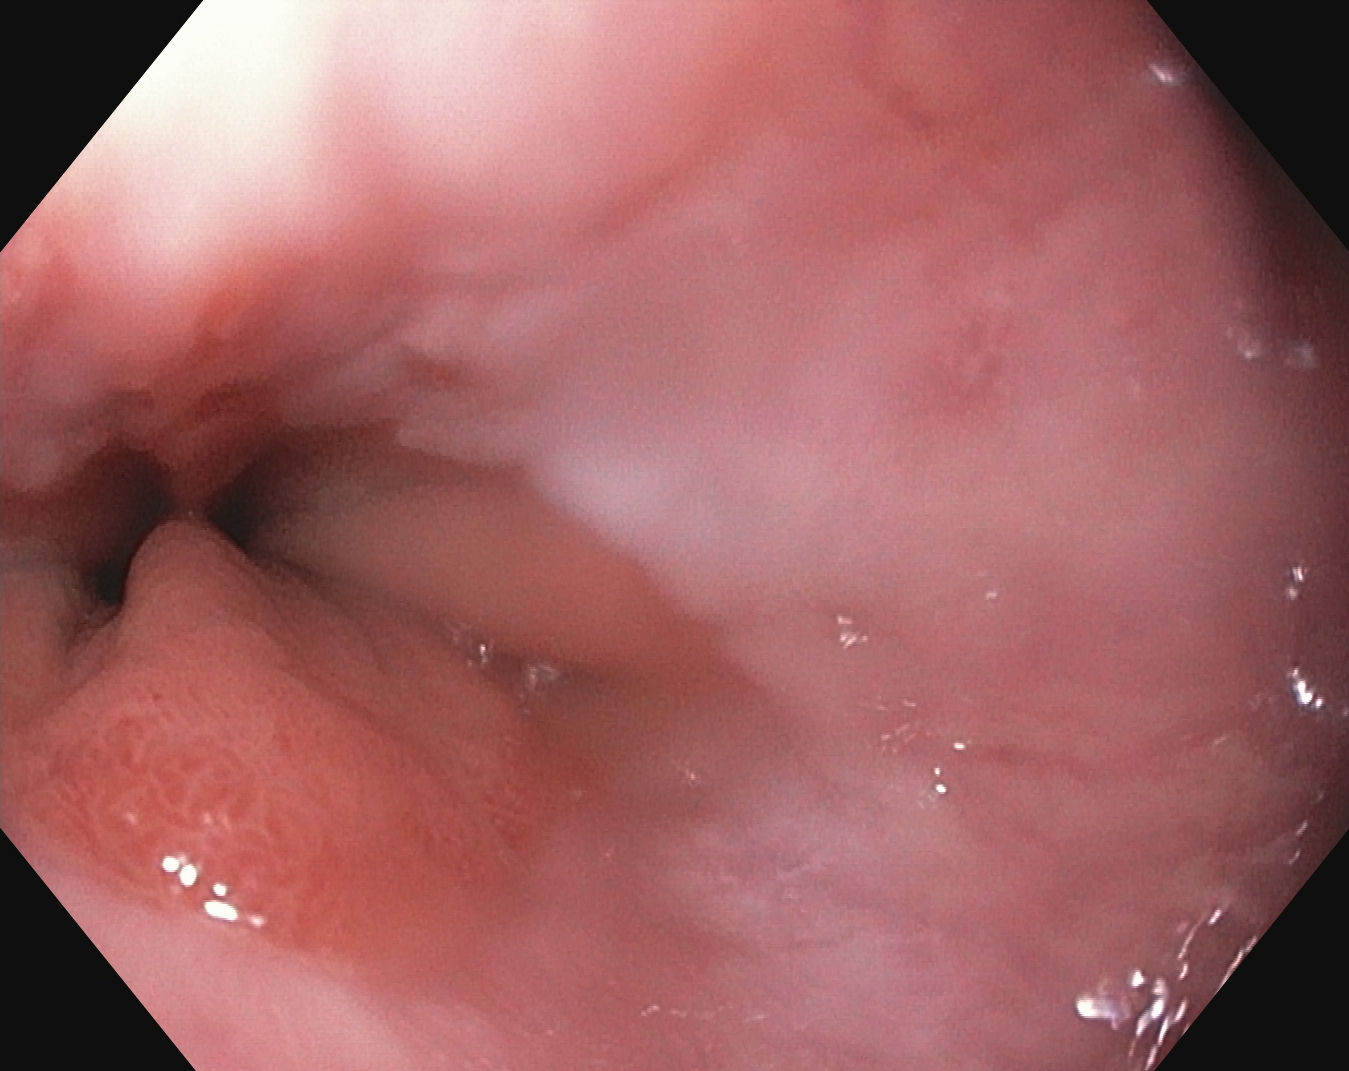Z-line (gastroesophageal junction).